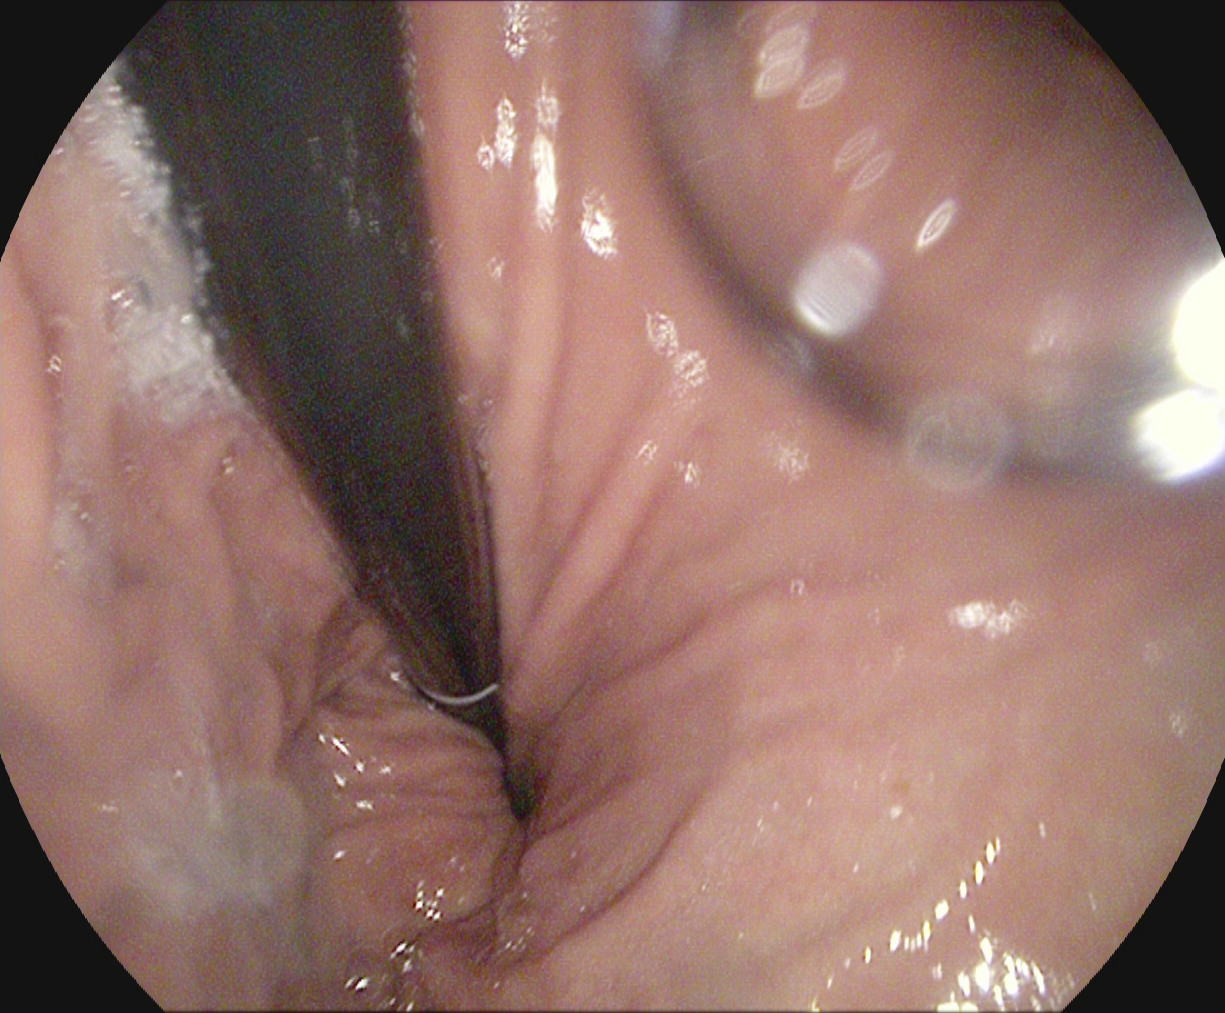Esophagogastroduodenoscopy. Finding: stomach in retroflexion.